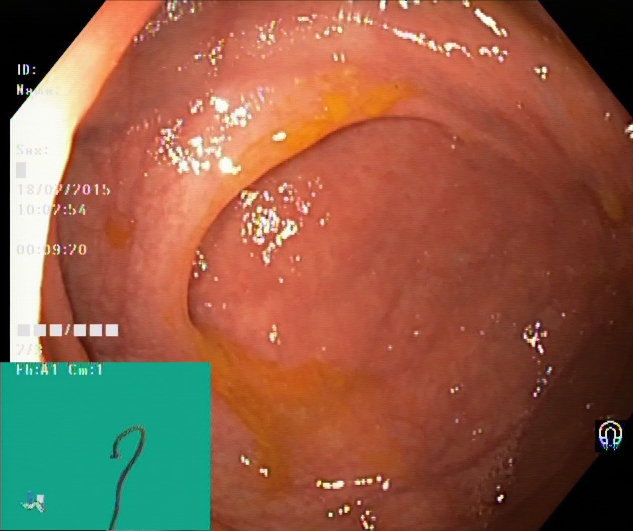{"modality": "lower-GI endoscopy", "category": "anatomical landmark", "finding": "cecum"}